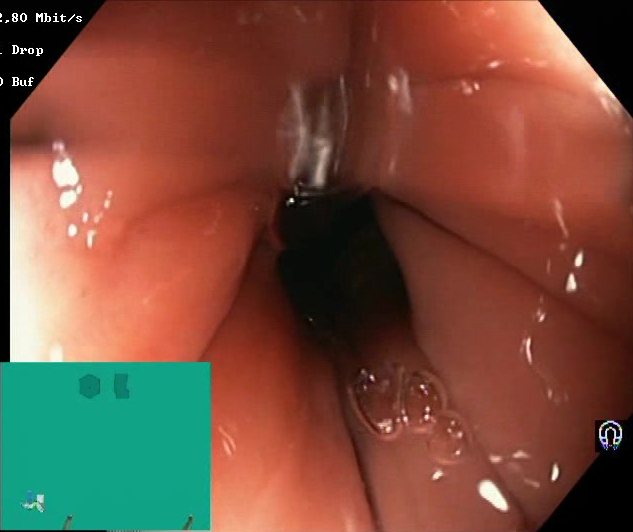PROCEDURE: Lower gastrointestinal endoscopy.
CATEGORY: Mucosal-view quality.
FINDINGS: BBPS score 2–3 (adequate preparation).